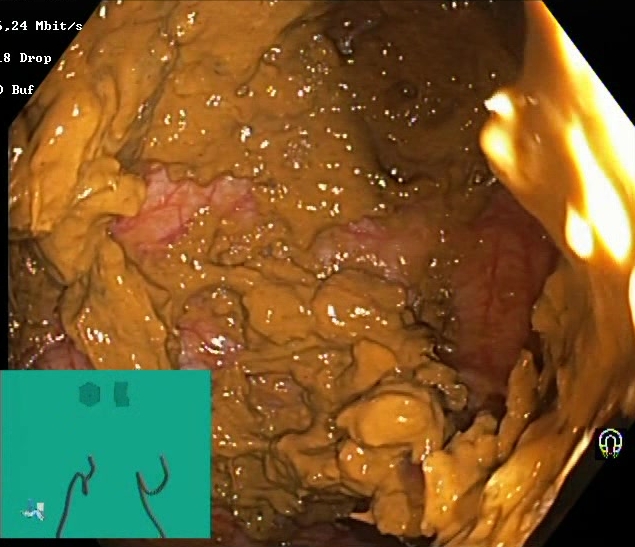modality: lower gastrointestinal endoscopy | tract: lower GI tract | finding: BBPS score 0–1 (inadequate preparation)